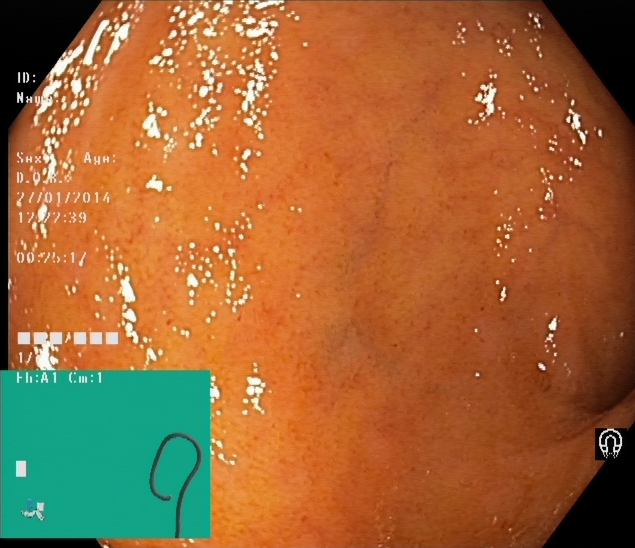modality: colonoscopy
tract: lower GI tract
category: anatomical landmark
finding: cecum